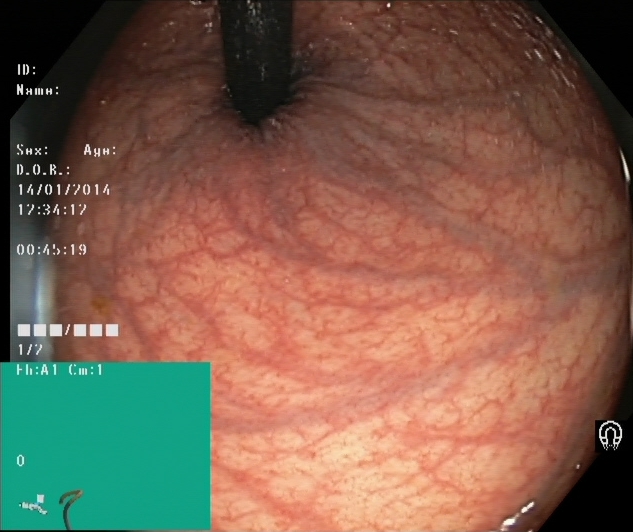Lower-GI endoscopy. Finding: rectum in retroflexion.